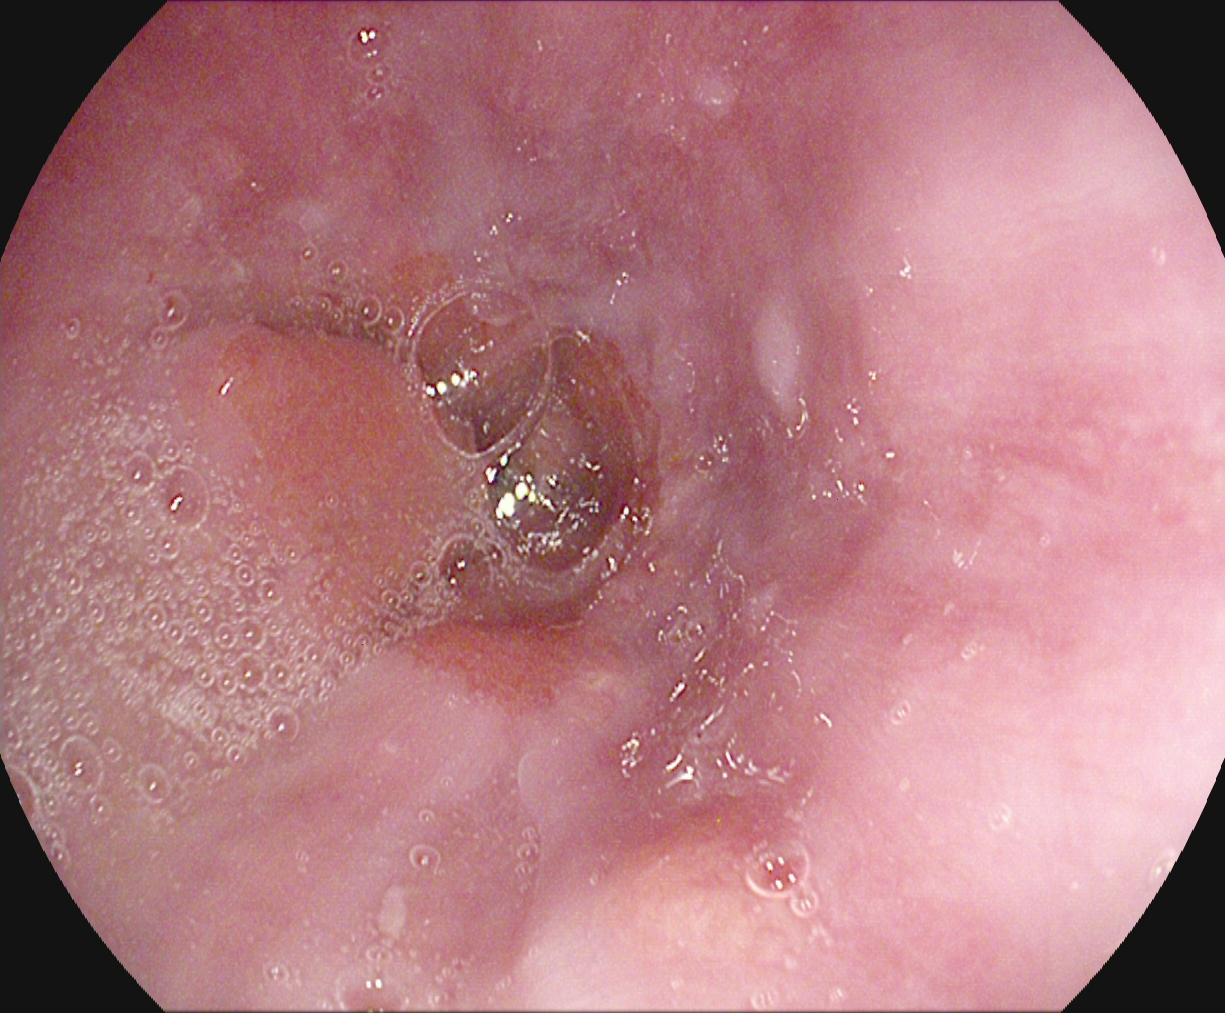PROCEDURE: Gastroscopy.
FINDINGS: Z-line (gastroesophageal junction).